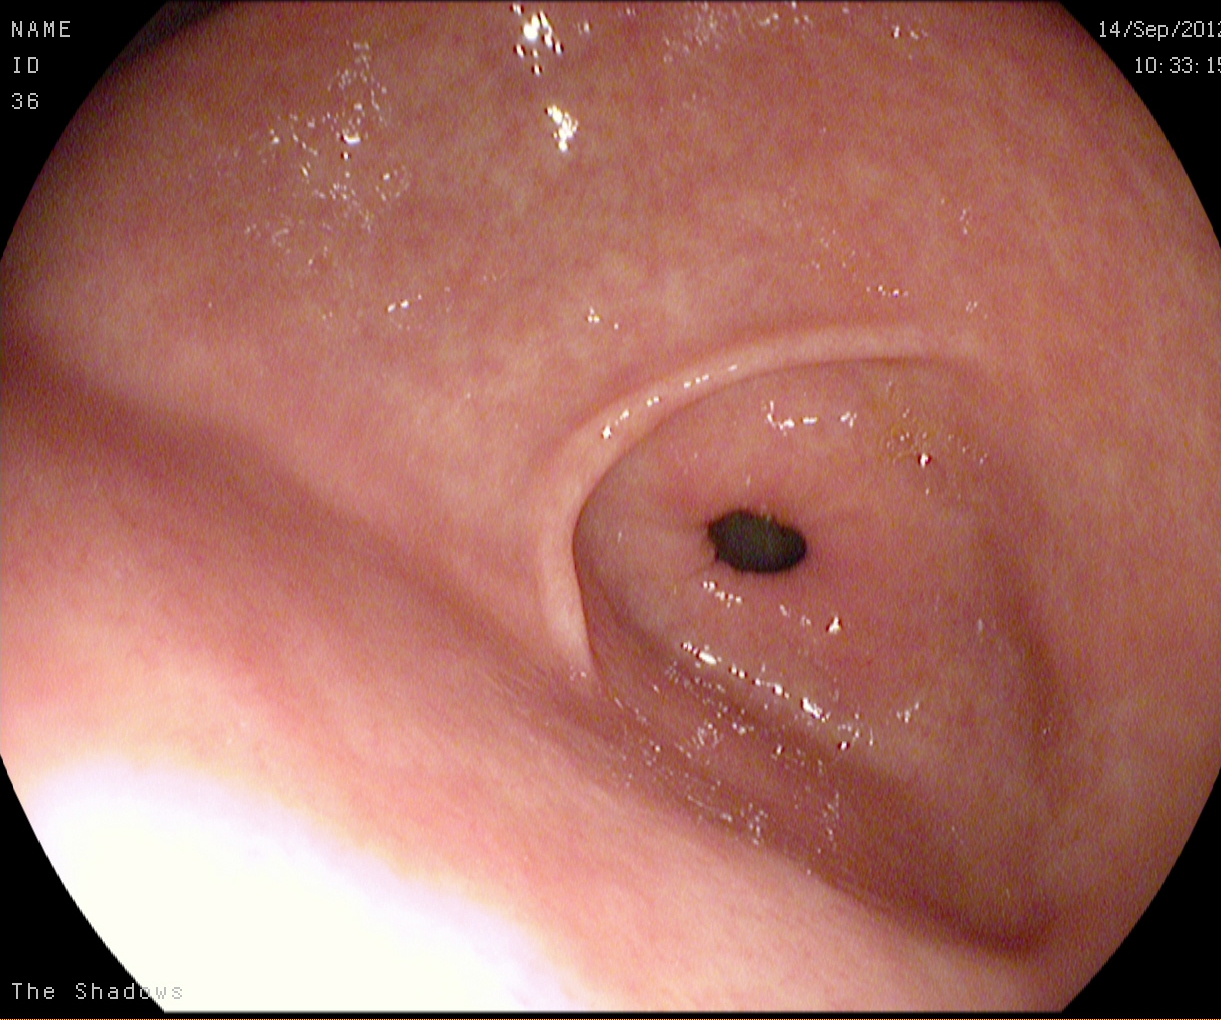Pylorus.